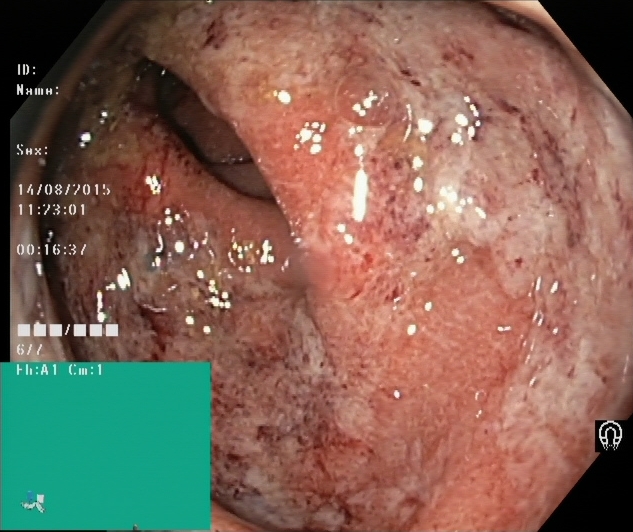Lower-GI endoscopy. Pathological finding. Finding: ulcerative colitis, Mayo endoscopic subscore 2.